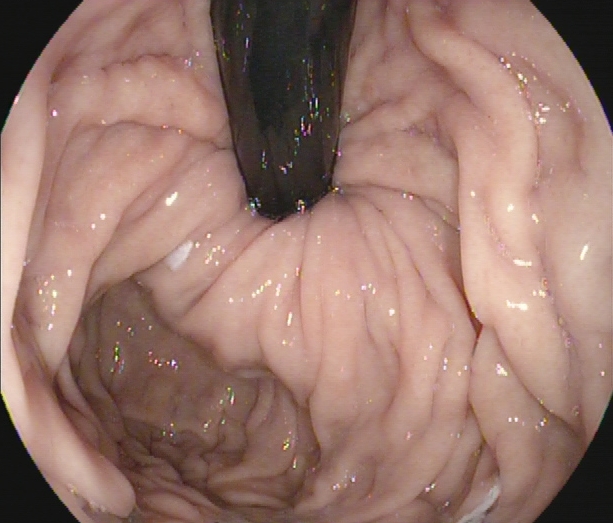EGD — stomach in retroflexion.